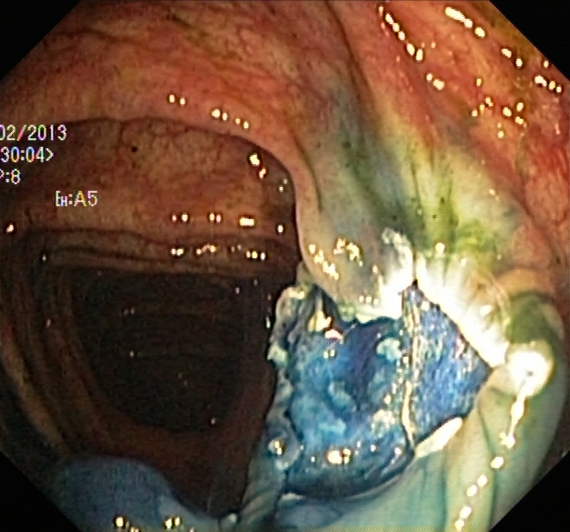Dyed resection margins (post-polypectomy).